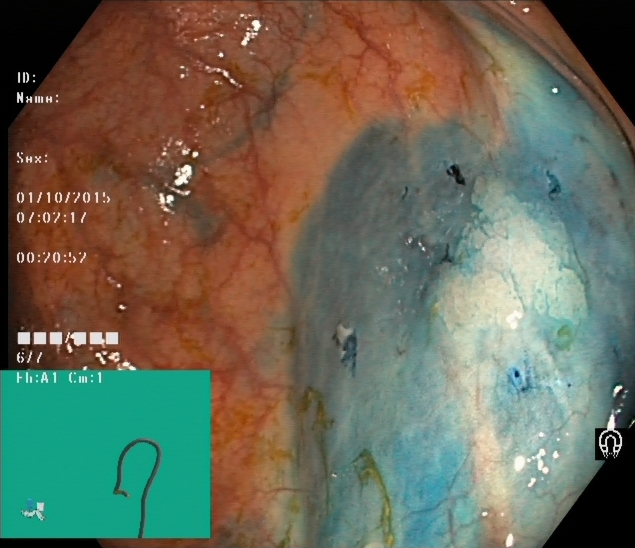This endoscopy frame shows dyed and lifted polyp (pre-resection).